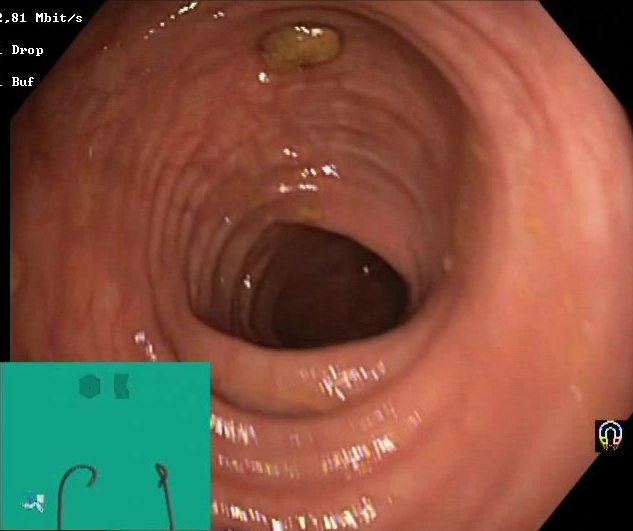Boston Bowel Preparation Scale score 2–3 (adequate preparation).